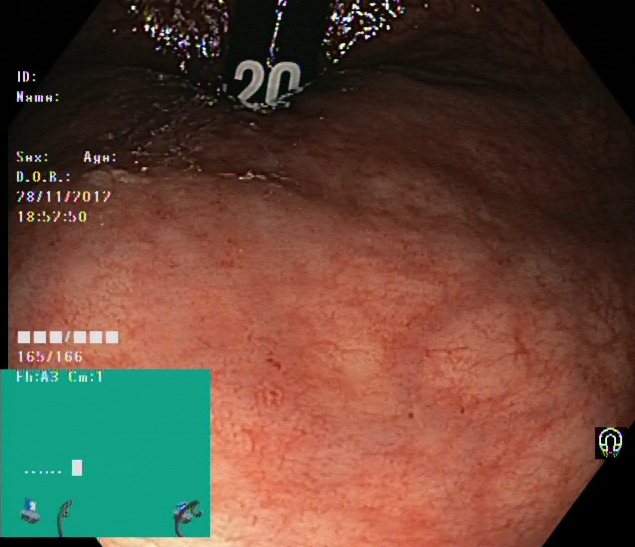{"modality": "lower-GI endoscopy", "category": "anatomical landmark", "finding": "rectum in retroflexion"}